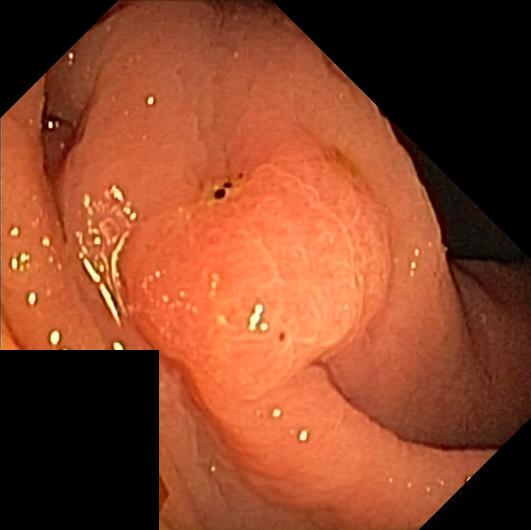colorectal polyp(s).